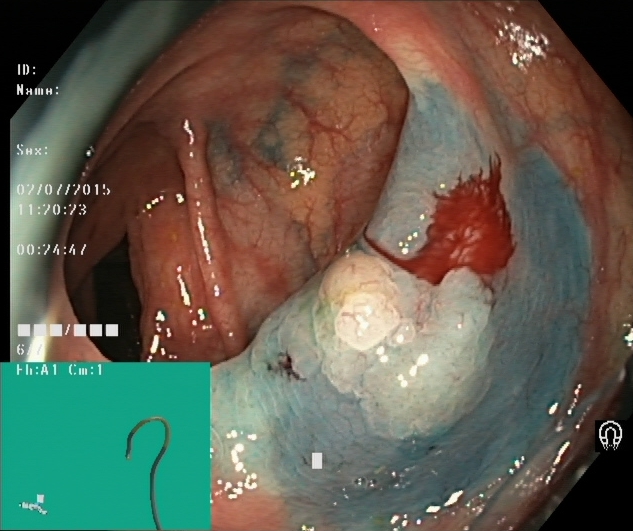{"modality": "lower gastrointestinal endoscopy", "tract": "lower GI tract", "category": "therapeutic intervention", "finding": "dyed and lifted polyp (pre-resection)"}